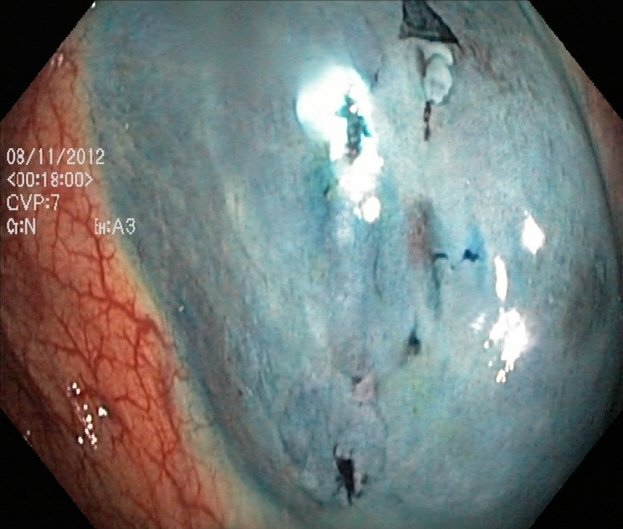Lower-GI endoscopy — dyed resection margins (post-polypectomy).